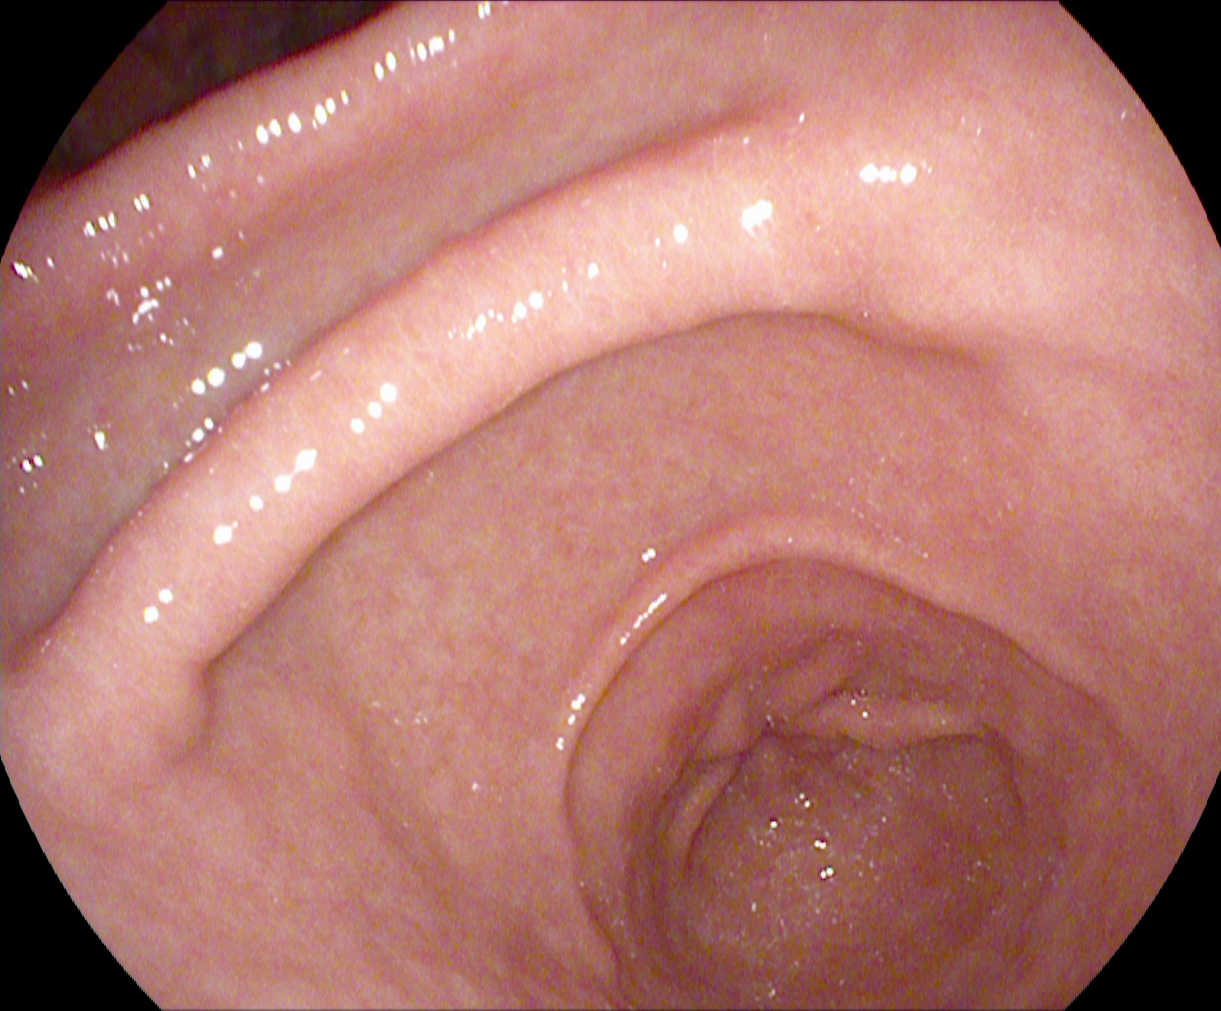GI endoscopy image showing pylorus.